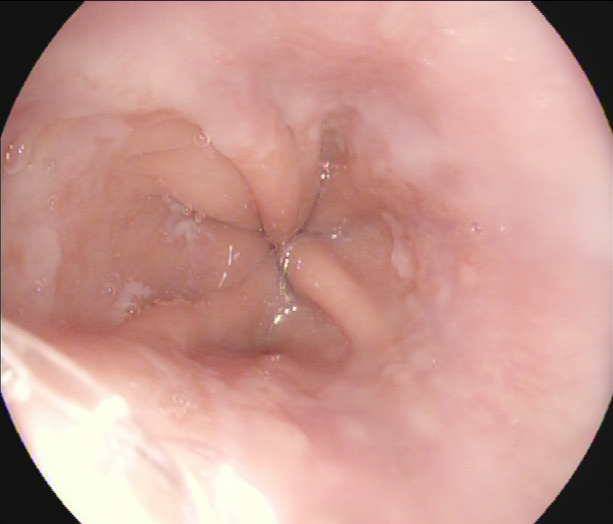{"modality": "upper-GI endoscopy", "finding": "Z-line (gastroesophageal junction)"}